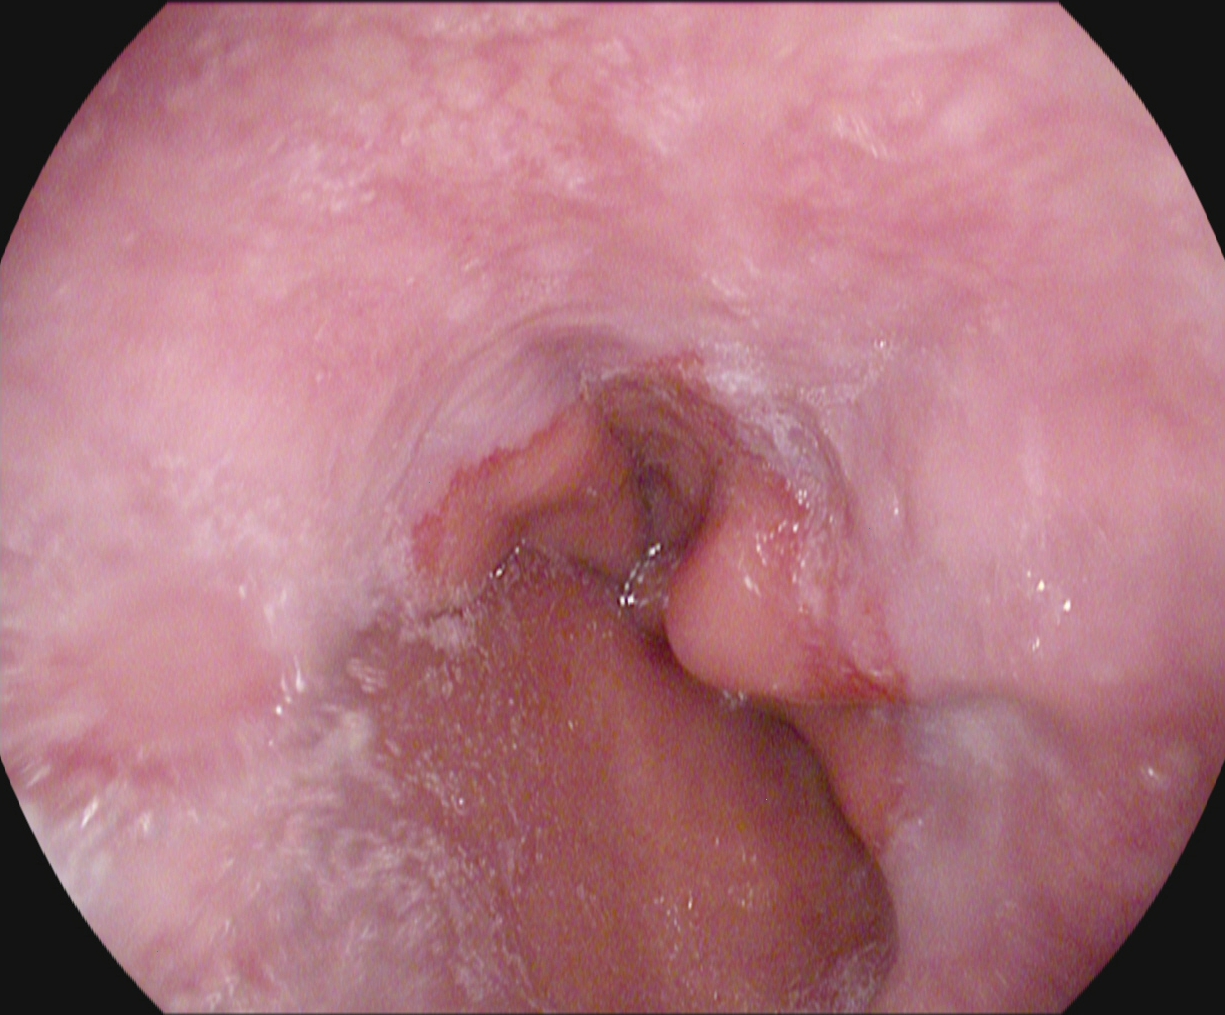EGD. Tract: upper GI tract. Pathological finding. Finding: reflux esophagitis, Los Angeles grade A.